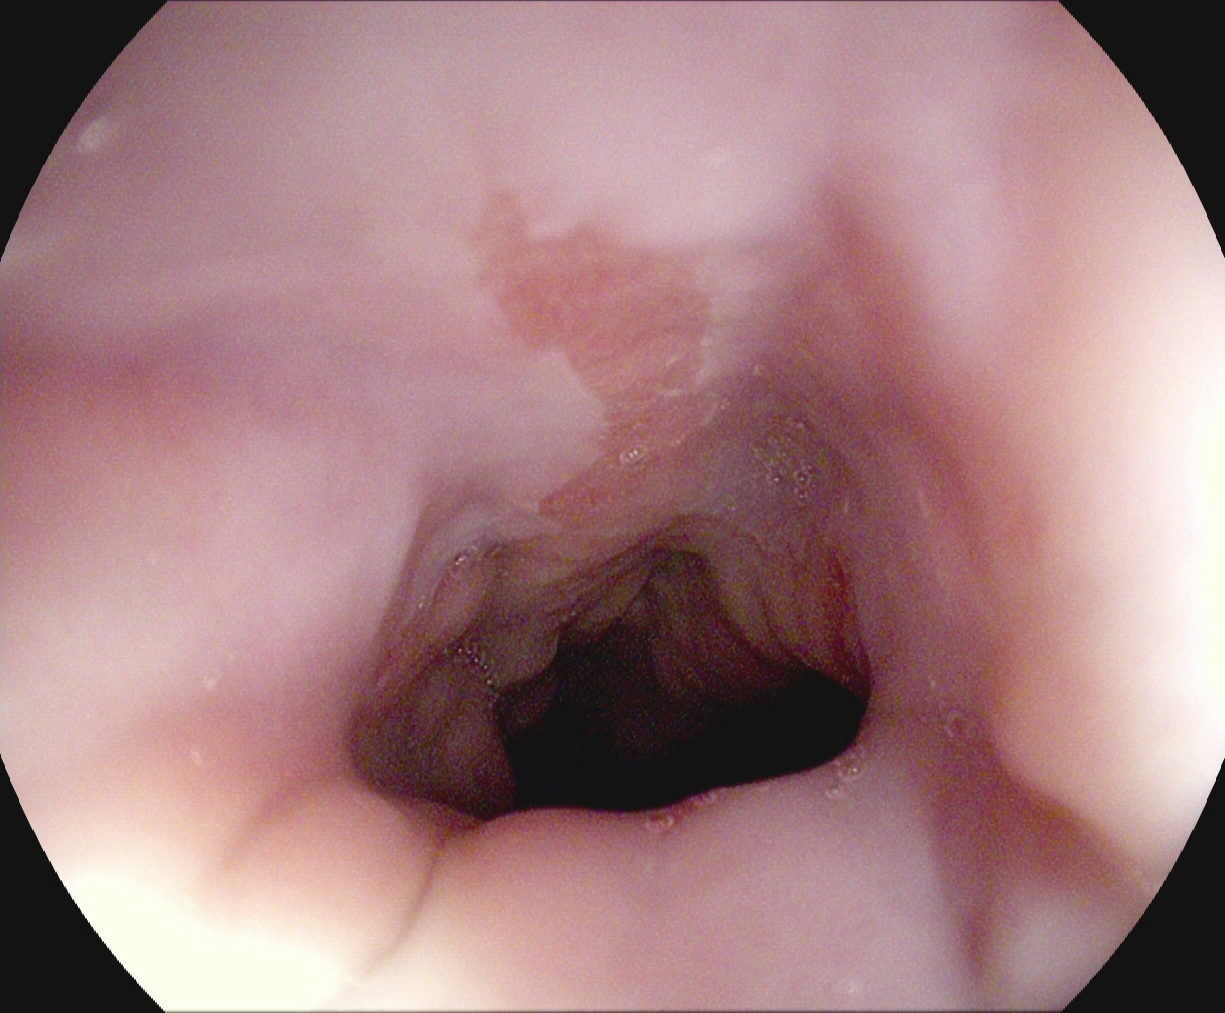Gastroscopy. Tract: upper GI tract. Pathological finding. Finding: Barrett's esophagus, short segment.